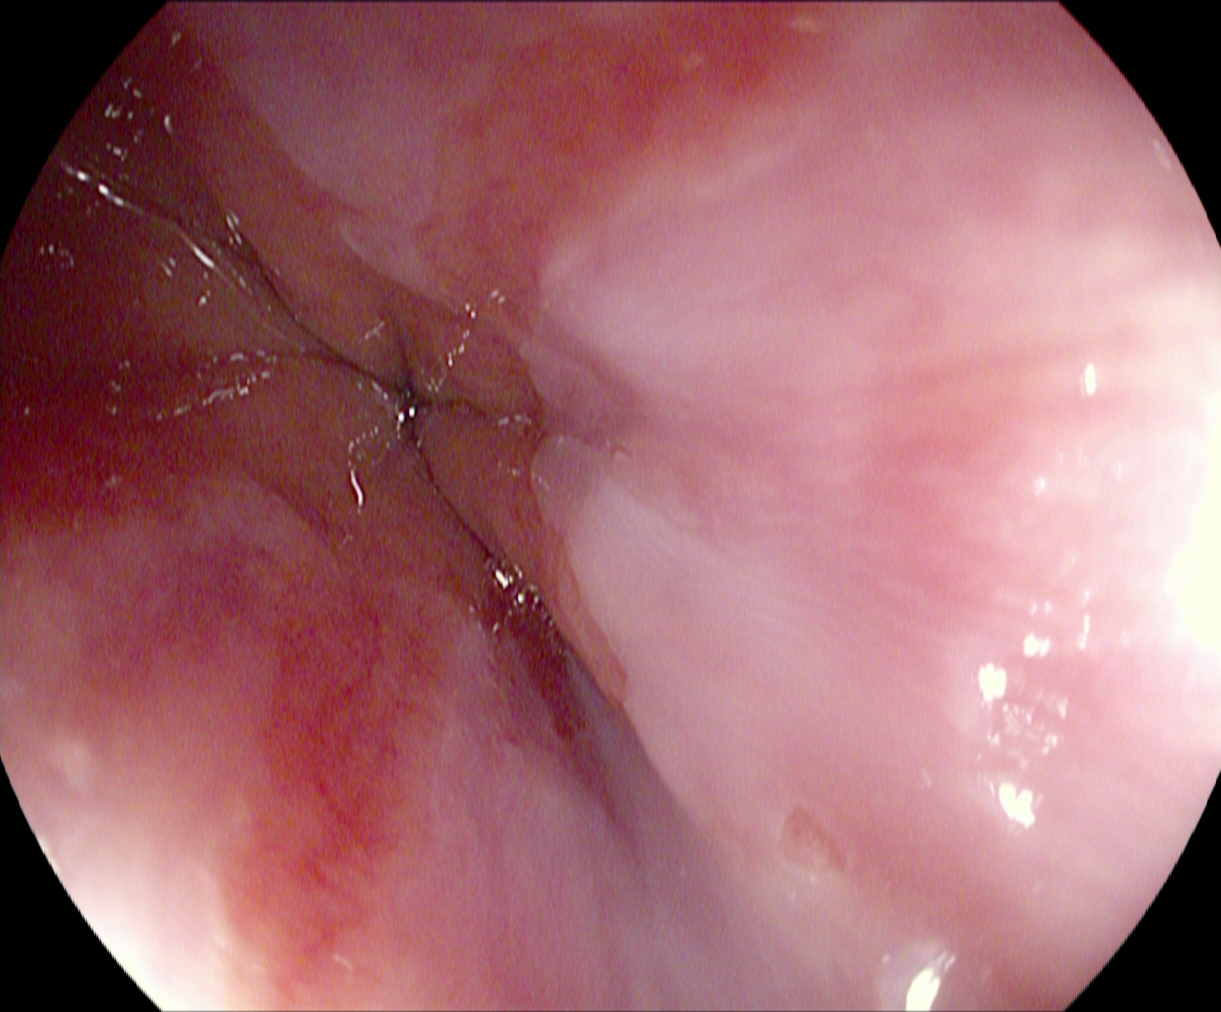Gastroscopy — reflux esophagitis, LA grade A.